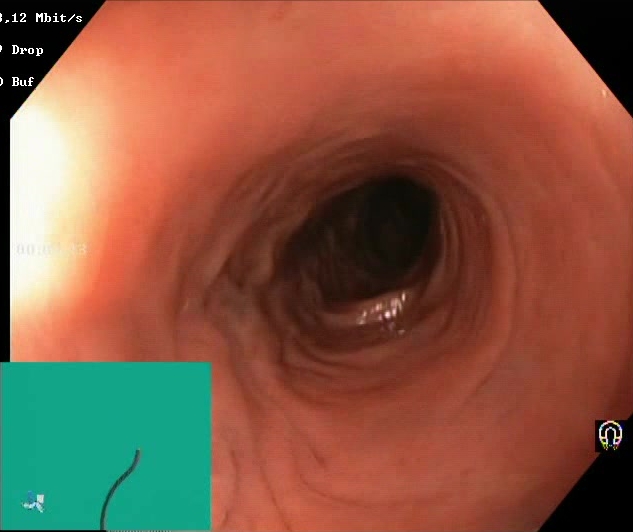Colonoscopy. Mucosal-view quality. Finding: Boston Bowel Preparation Scale score 2–3 (adequate preparation).